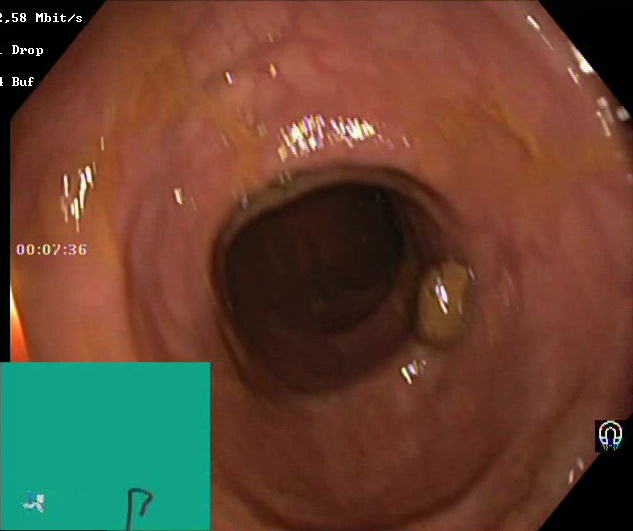Endoscopy image of the lower GI tract showing Boston Bowel Preparation Scale score 2–3 (adequate preparation).